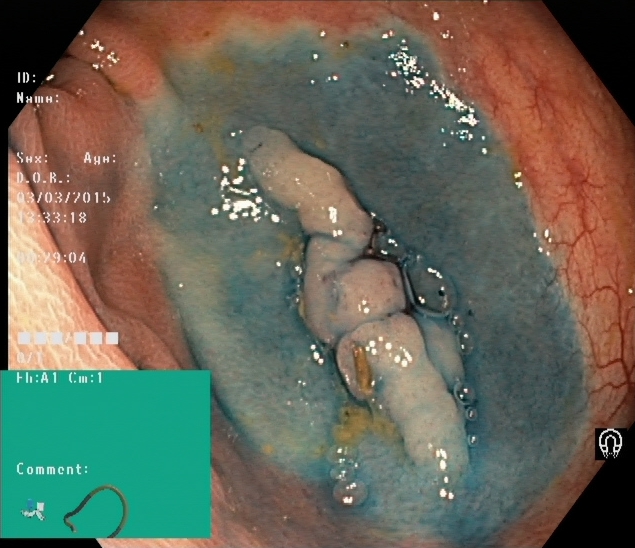Lower-GI endoscopy image showing dyed and lifted polyp (pre-resection).